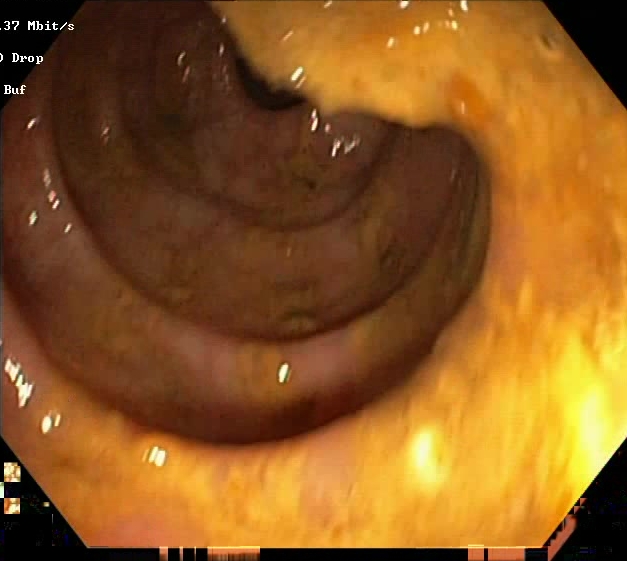PROCEDURE: Lower-GI endoscopy.
FINDINGS: Boston Bowel Preparation Scale score 0–1 (inadequate preparation).